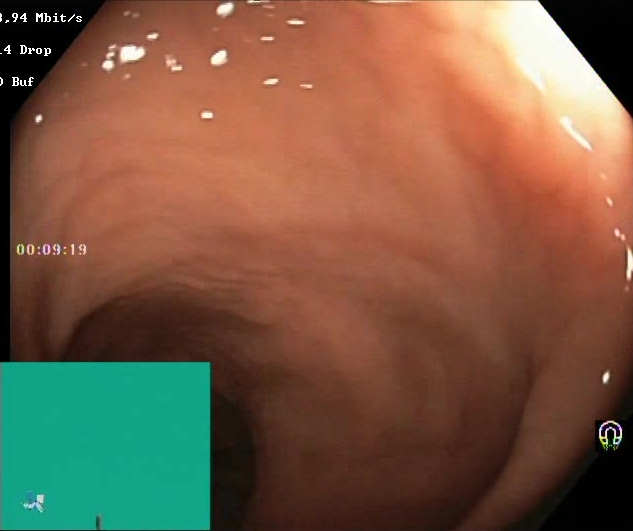Lower gastrointestinal endoscopy. Finding: Boston Bowel Preparation Scale score 2–3 (adequate preparation).